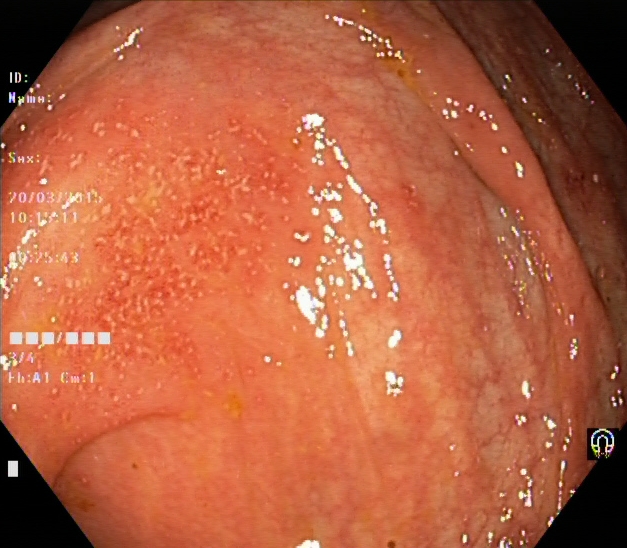Ulcerative colitis, Mayo endoscopic subscore 1.